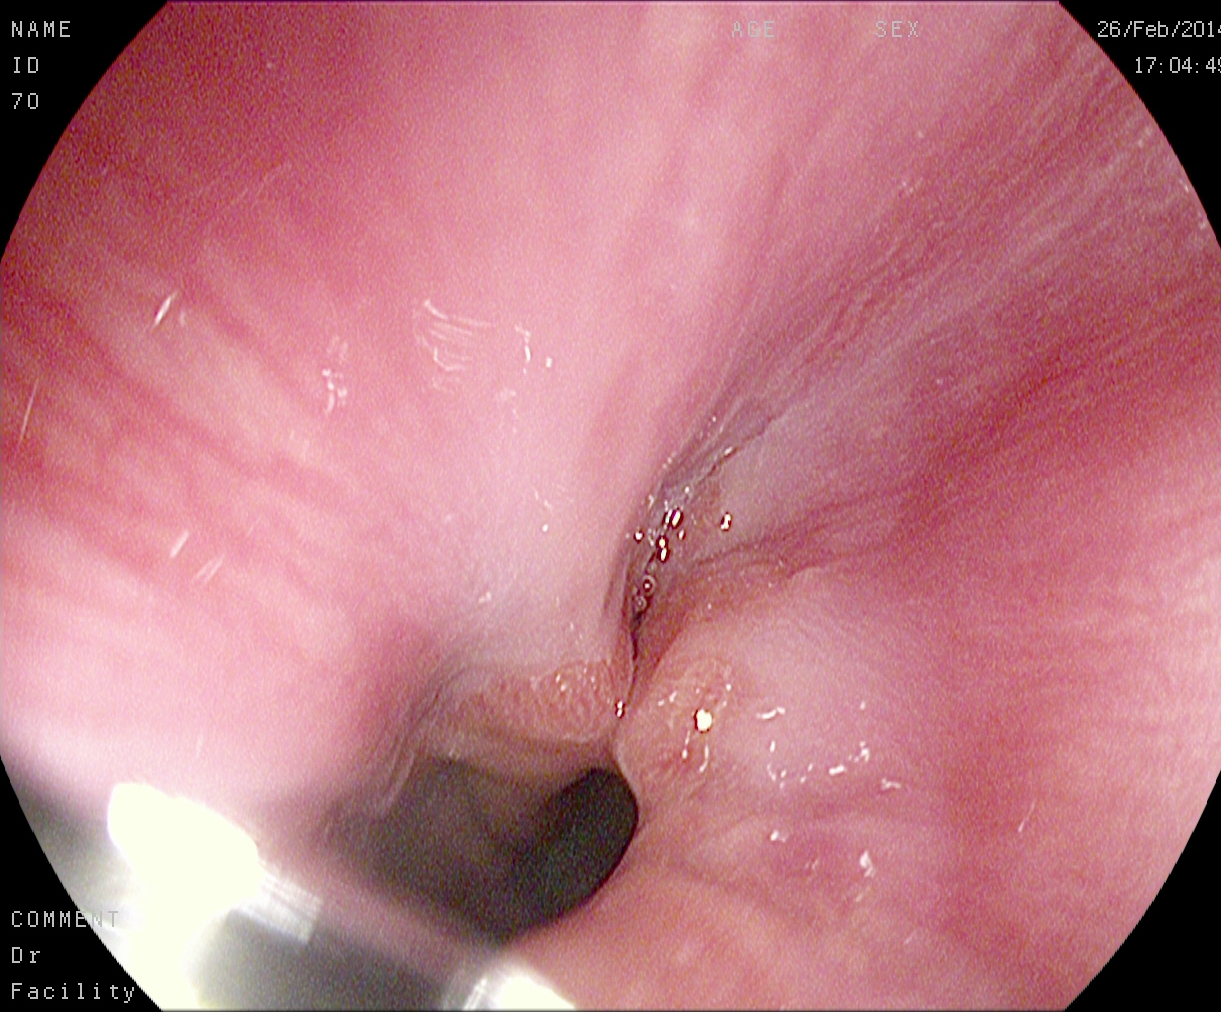Upper-GI endoscopy. Finding: Z-line (gastroesophageal junction).